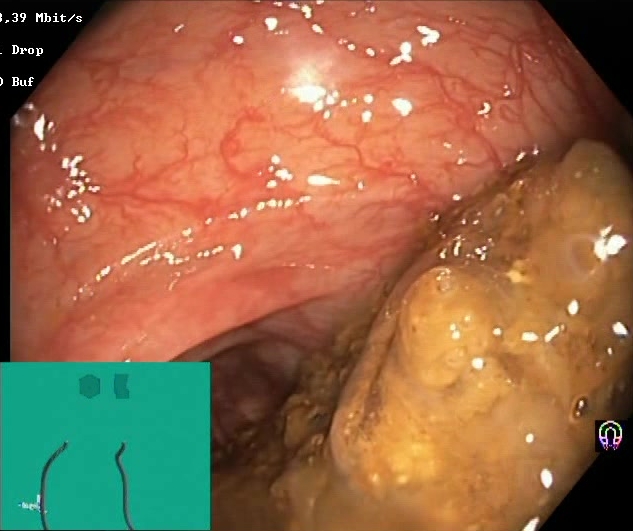This endoscopy frame shows BBPS score 0–1 (inadequate preparation).